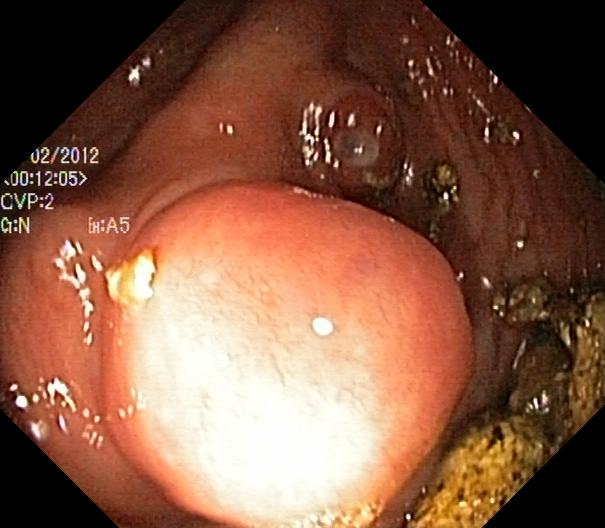Endoscopy image of the lower GI tract showing colorectal polyp(s).